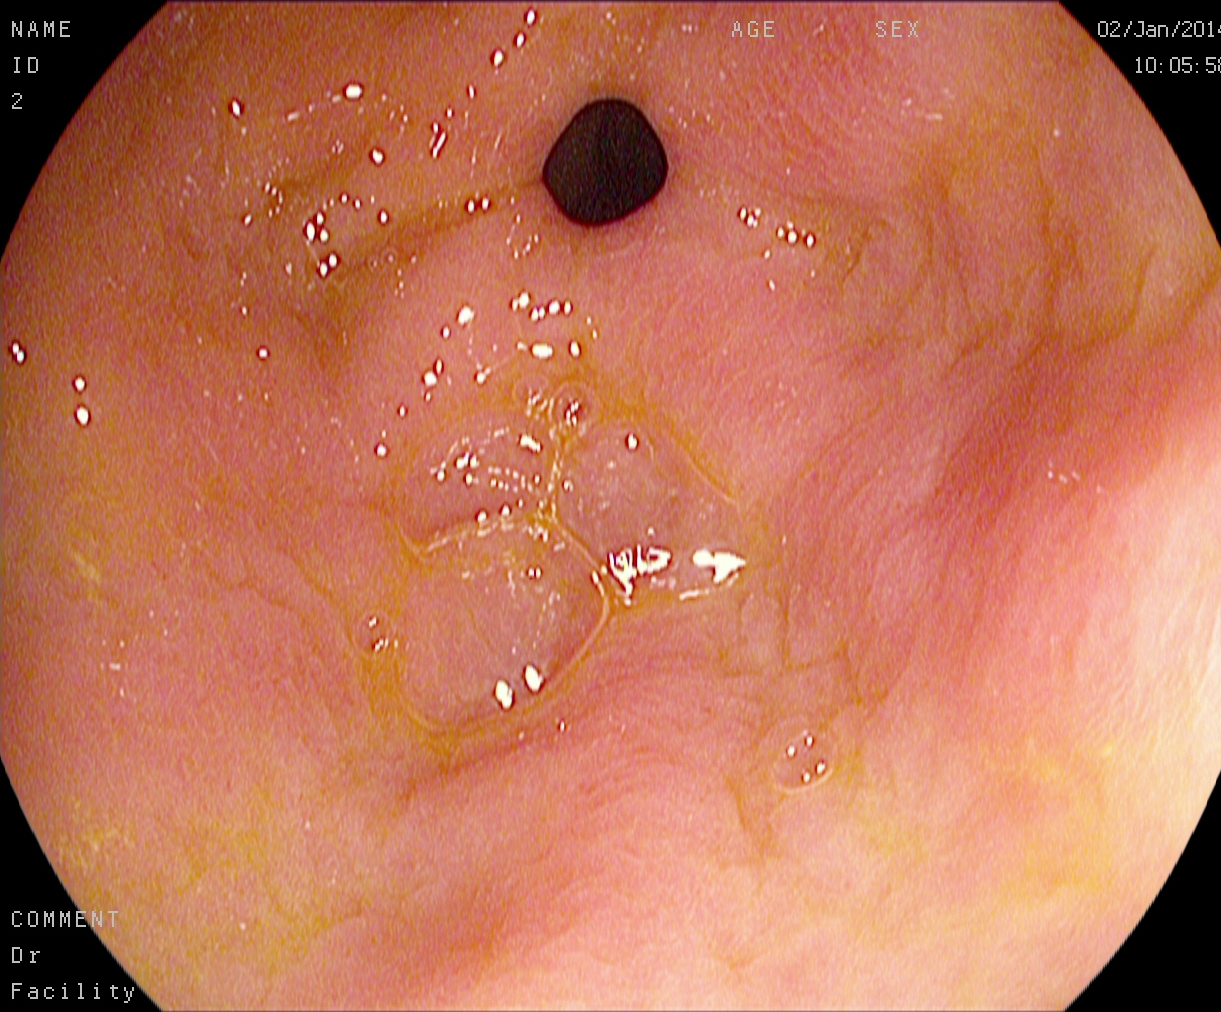{"modality": "EGD", "finding": "pylorus"}